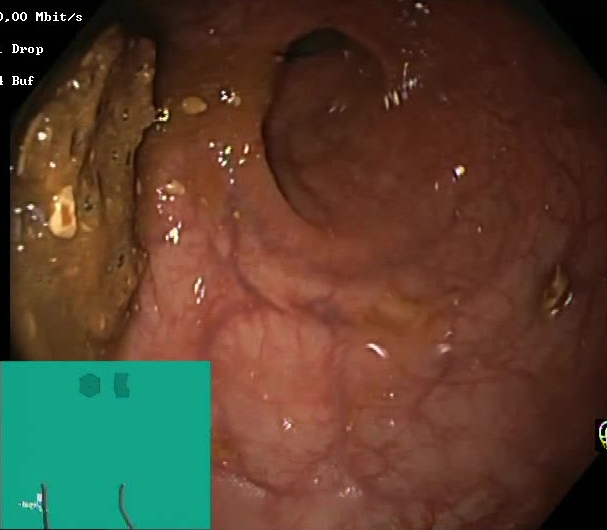GI endoscopy image of the lower GI tract showing Boston Bowel Preparation Scale score 0–1 (inadequate preparation).